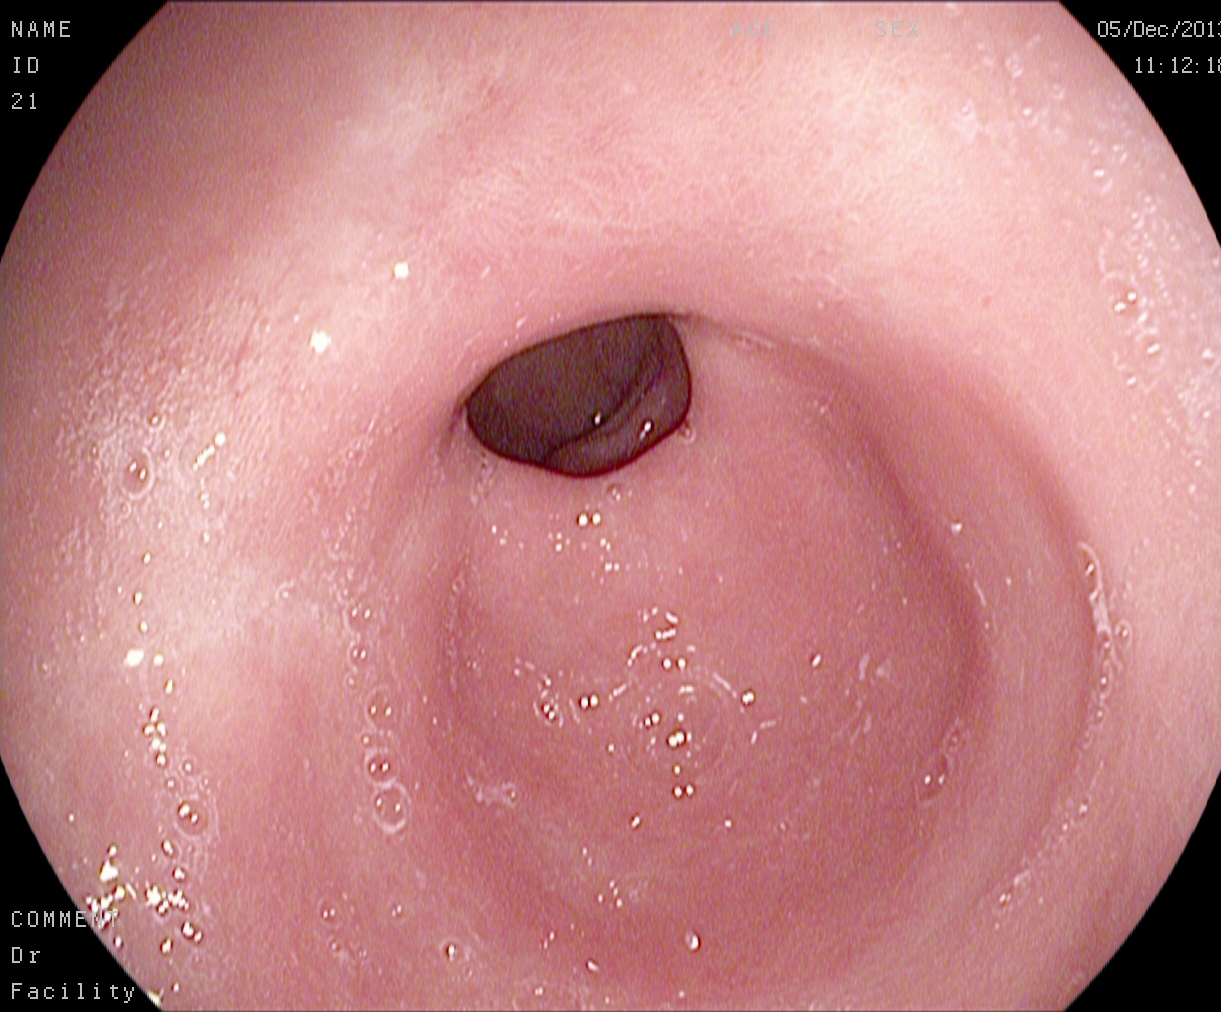Gastroscopy. Tract: upper GI tract. Finding: pylorus.